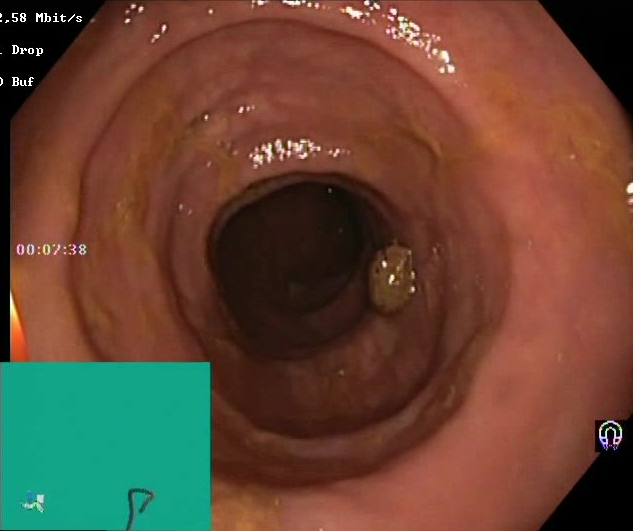PROCEDURE: Lower gastrointestinal endoscopy.
FINDINGS: Boston Bowel Preparation Scale score 2–3 (adequate preparation).